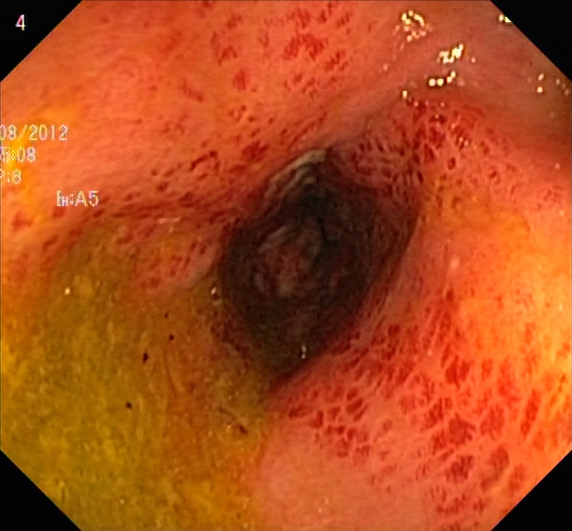Colonoscopy — UC, Mayo endoscopic subscore 2.